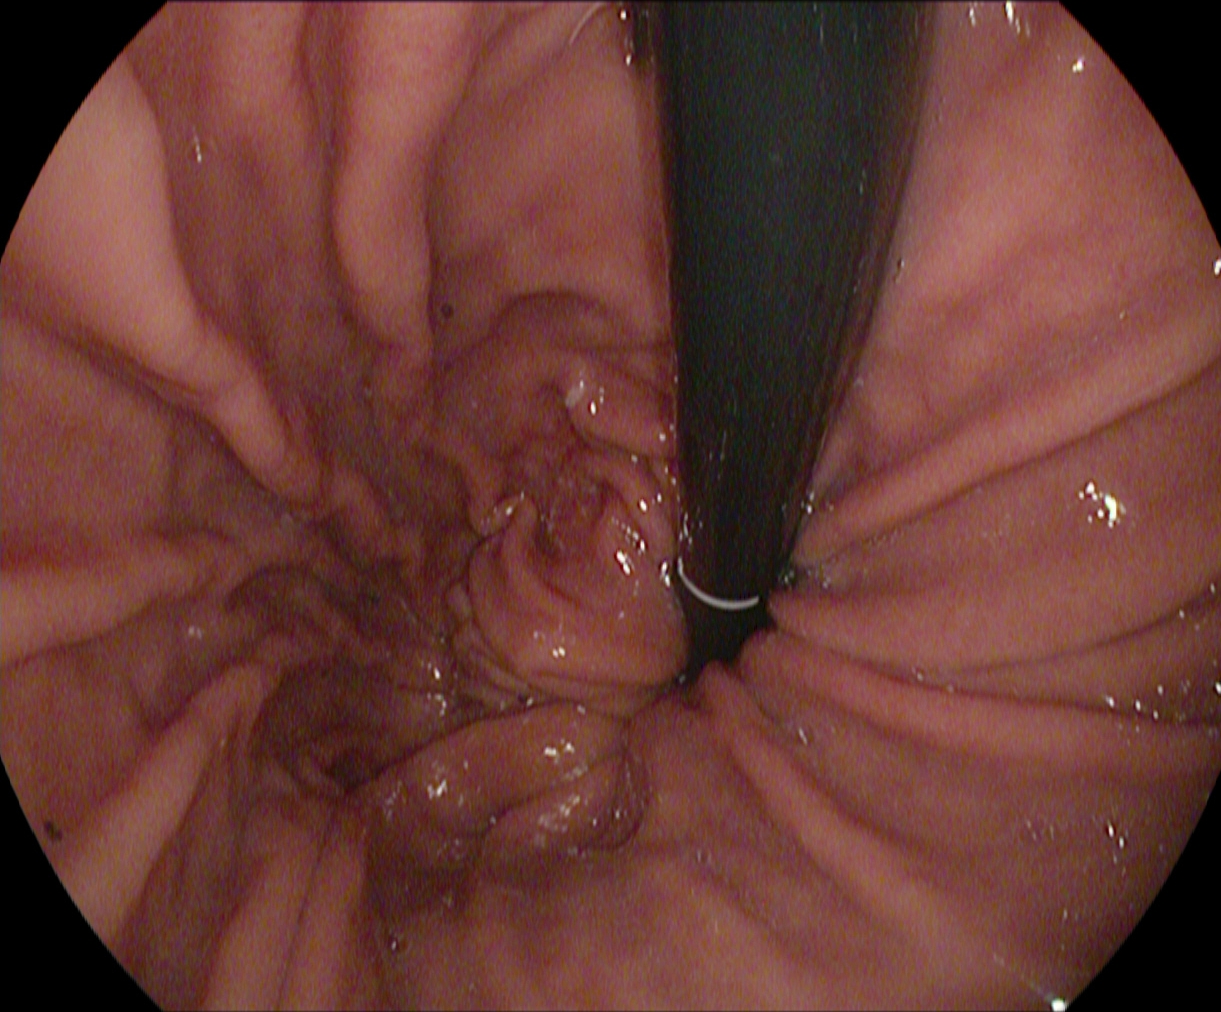This endoscopy frame of the upper GI tract shows stomach in retroflexion.